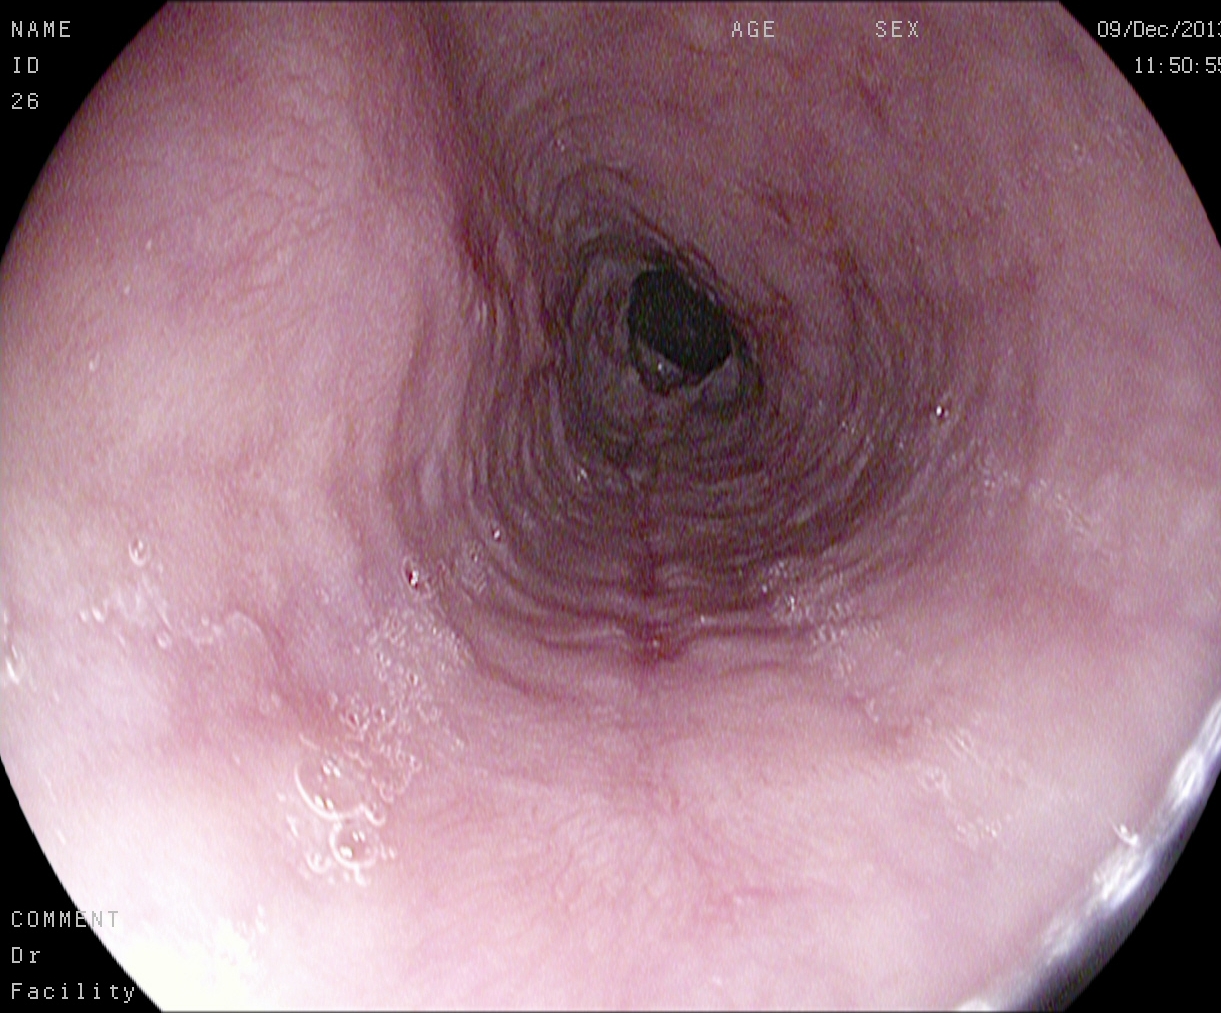Upper-GI endoscopy — reflux esophagitis, Los Angeles grade B–D.